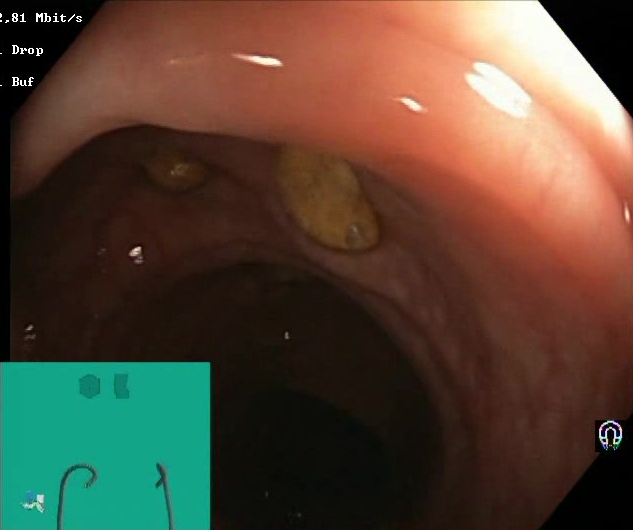{"modality": "colonoscopy", "tract": "lower GI tract", "finding": "impacted stool"}